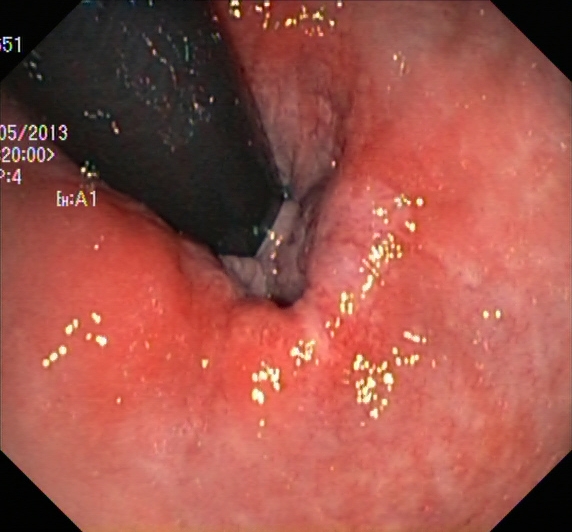Colonoscopy image showing rectum in retroflexion.